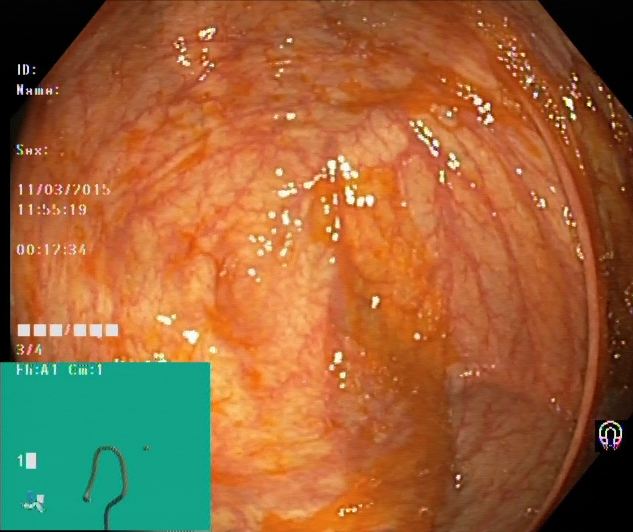modality: lower-GI endoscopy
finding: cecum